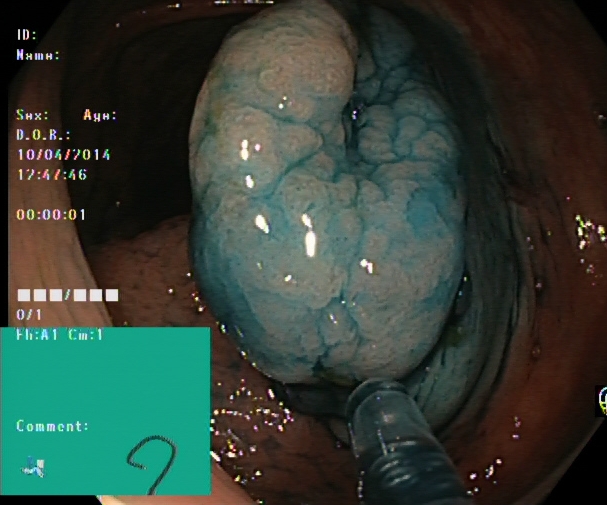Colonoscopy. Tract: lower GI tract. Therapeutic intervention. Finding: dyed and lifted polyp (pre-resection).